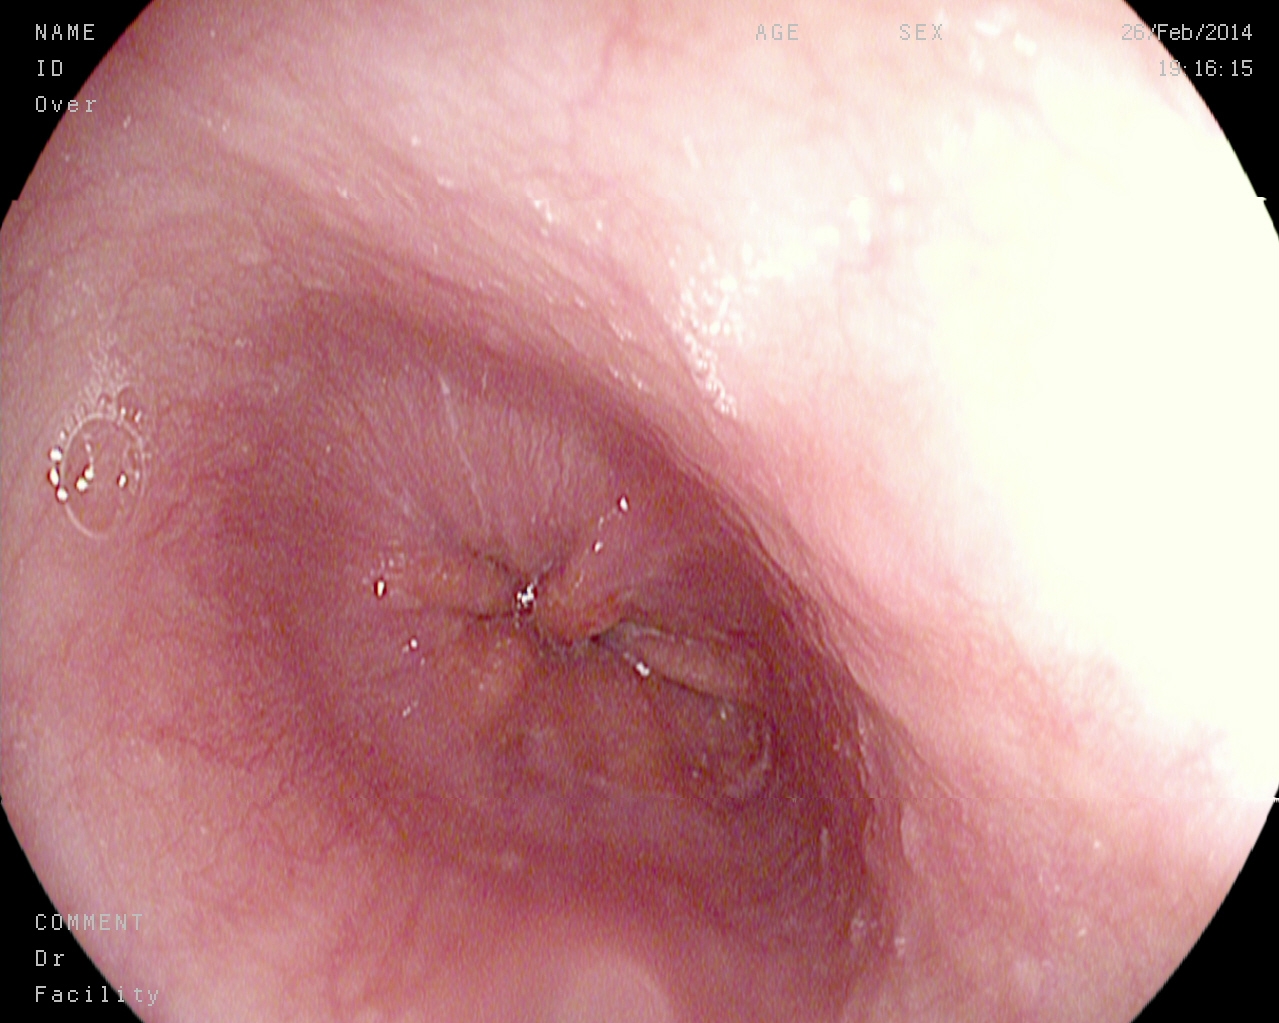PROCEDURE: Esophagogastroduodenoscopy.
FINDINGS: Z-line (gastroesophageal junction).